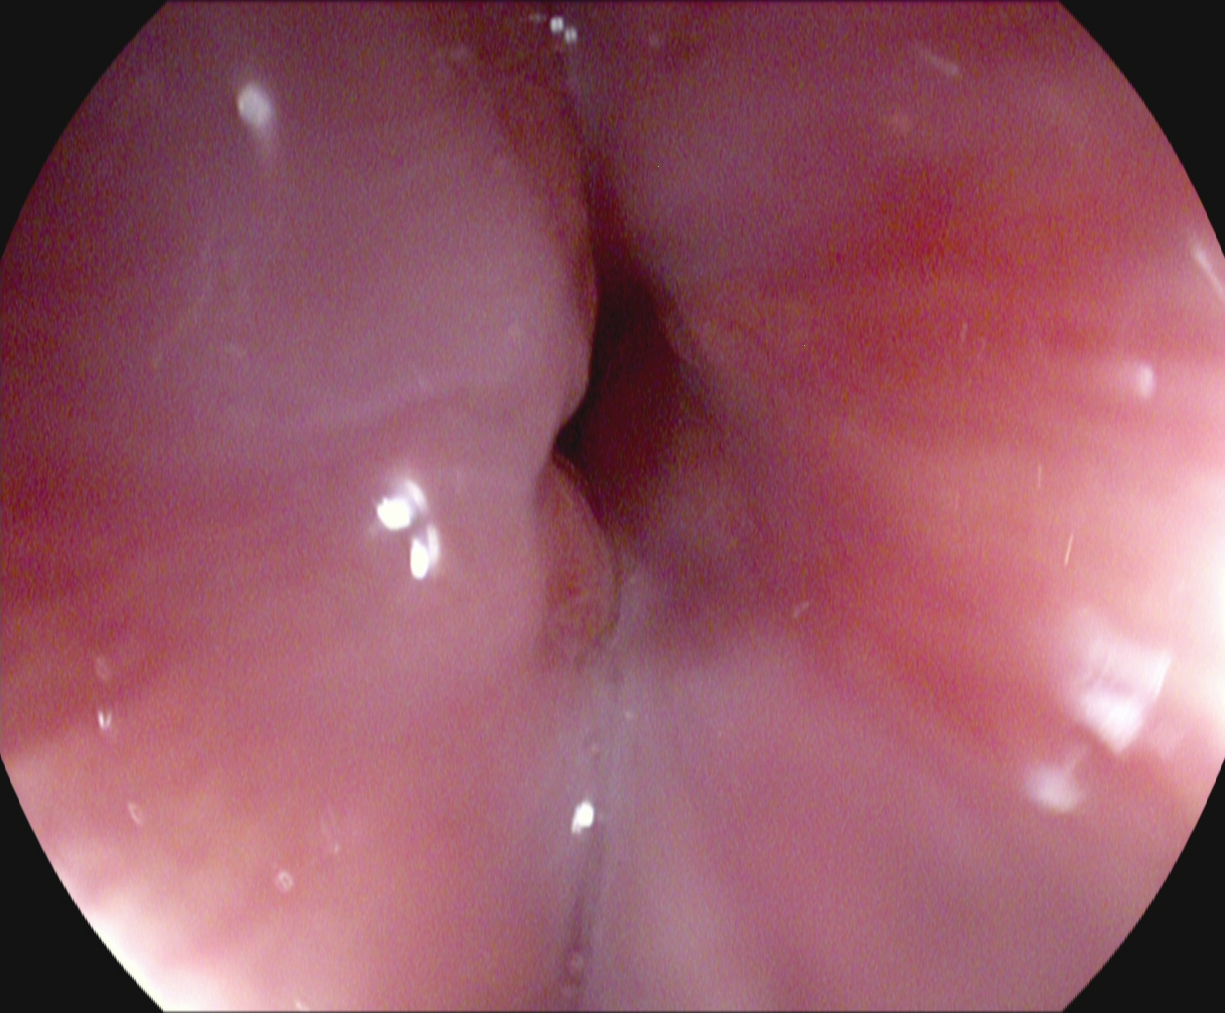GI endoscopy image showing Z-line (gastroesophageal junction).